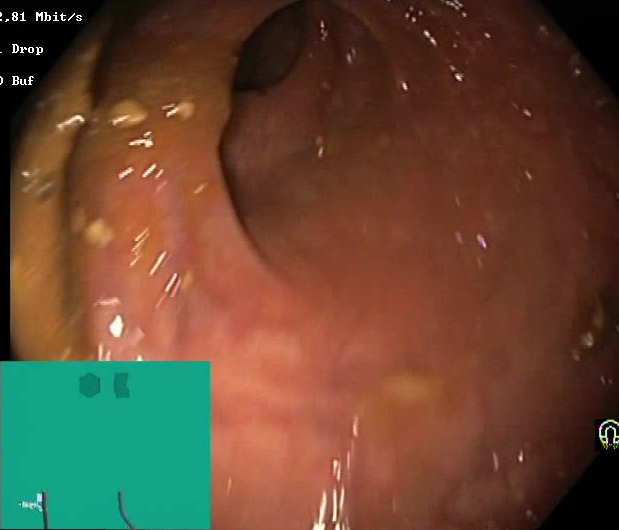PROCEDURE: Colonoscopy.
FINDINGS: BBPS score 0–1 (inadequate preparation).